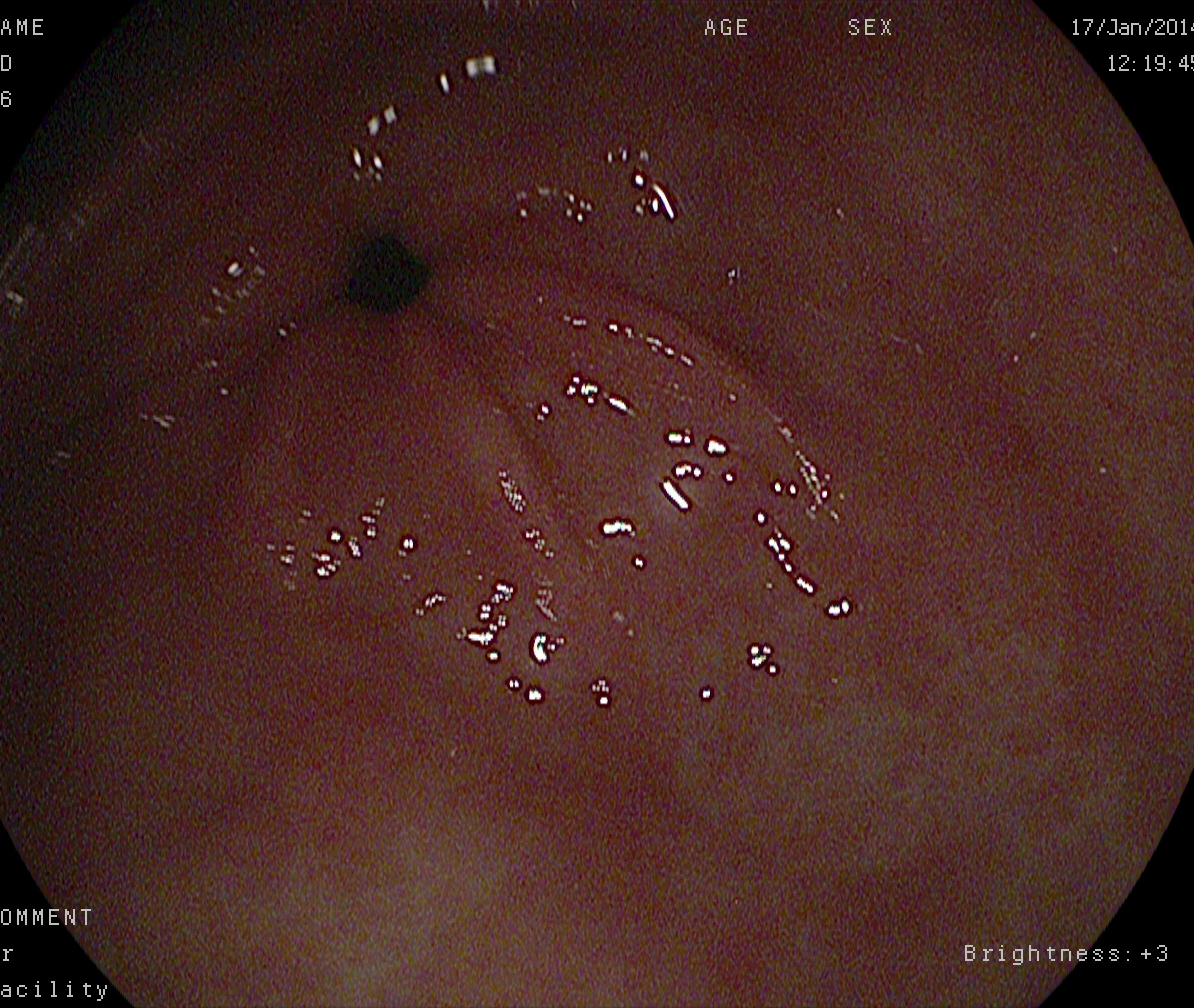EGD — pylorus.